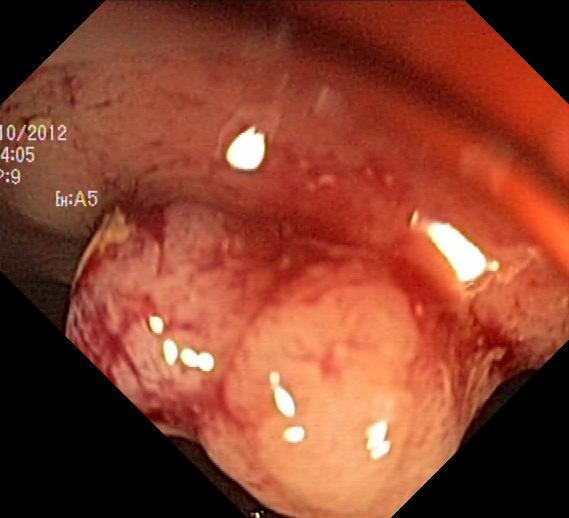Lower gastrointestinal endoscopy — colorectal polyp(s).